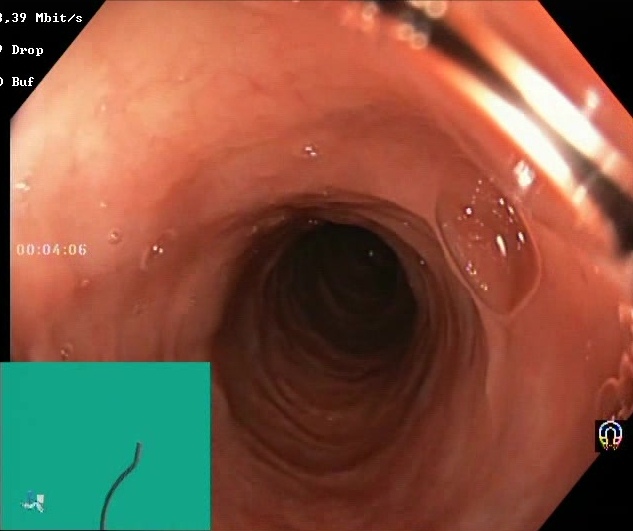Boston Bowel Preparation Scale score 2–3 (adequate preparation).